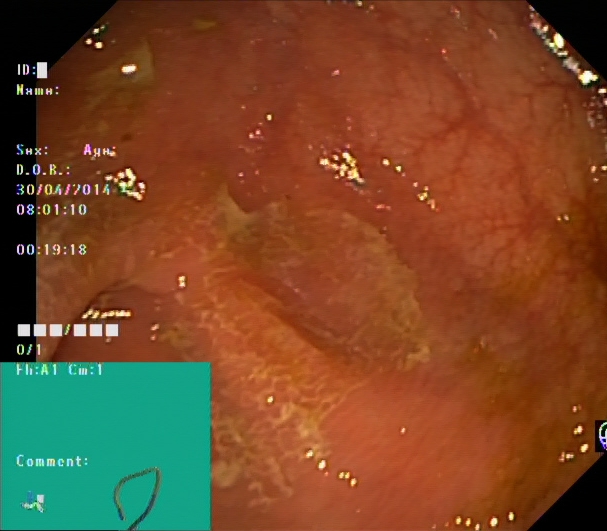modality: colonoscopy; tract: lower GI tract; finding: cecum